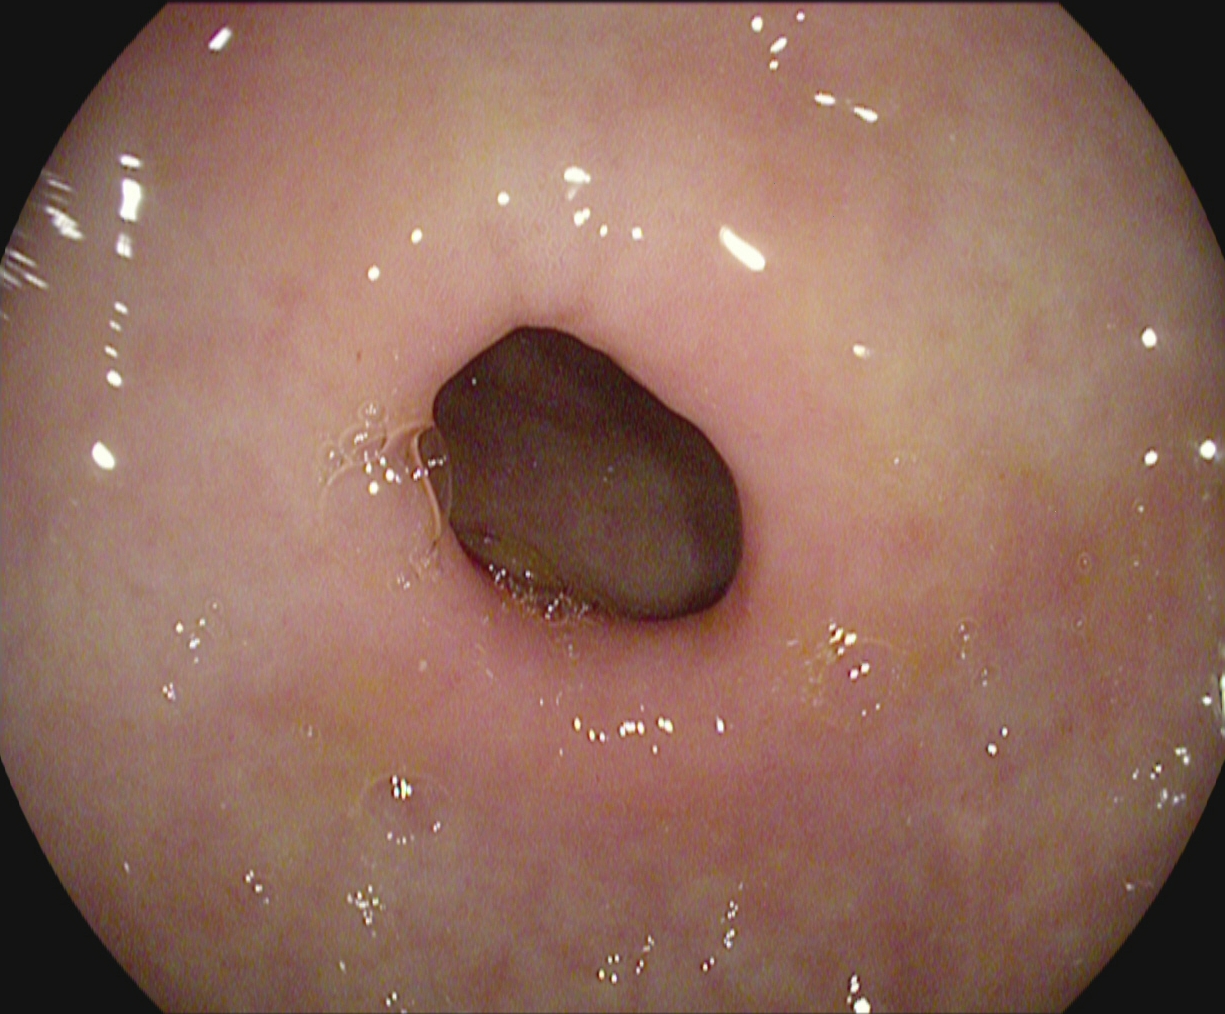PROCEDURE: EGD.
CATEGORY: Anatomical landmark.
FINDINGS: Pylorus.